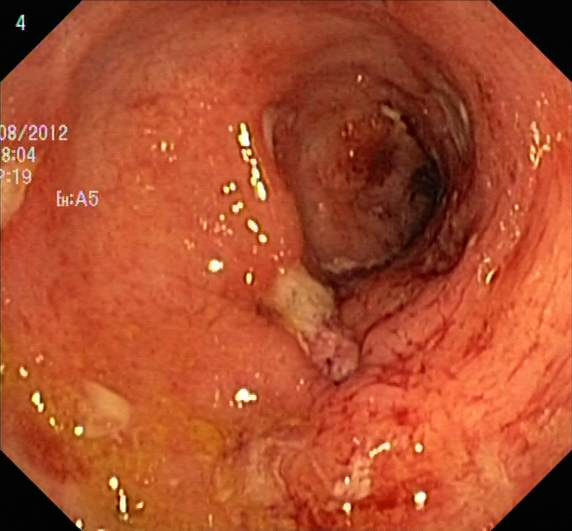UC, Mayo endoscopic subscore 3.